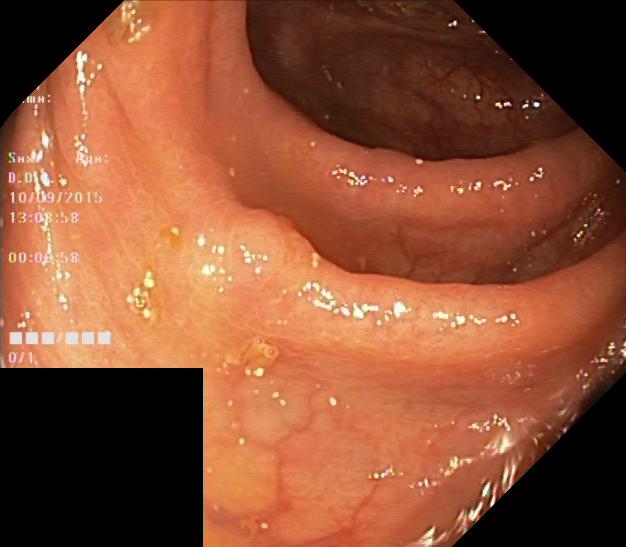Colonoscopy. Tract: lower GI tract. Pathological finding. Finding: colorectal polyp(s).